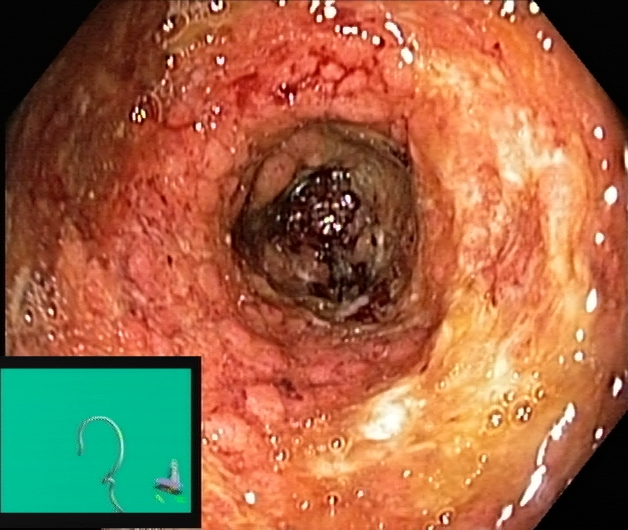Ulcerative colitis, Mayo endoscopic subscore 3.